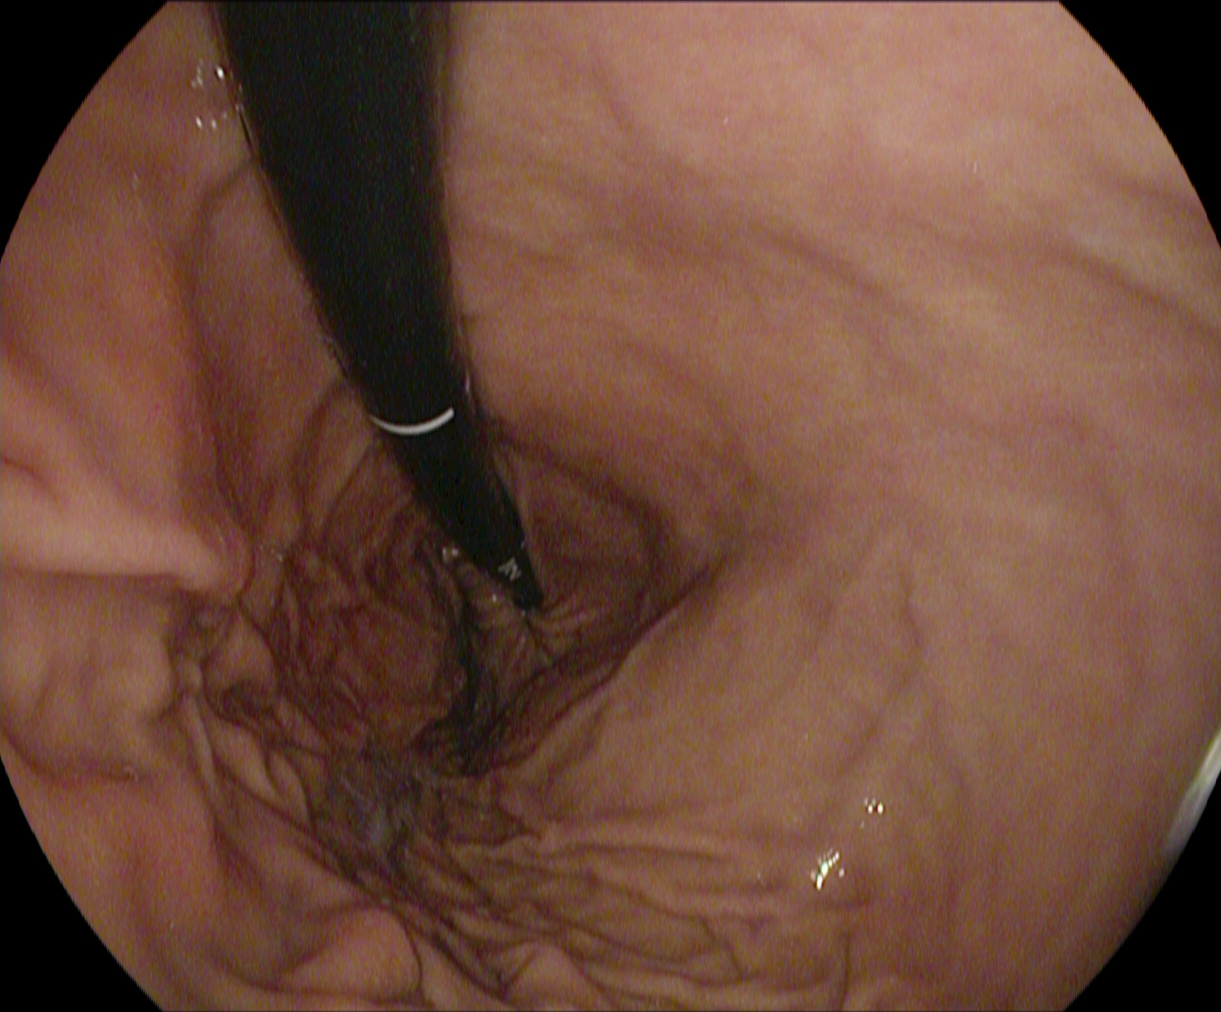Endoscopy image of the upper GI tract showing stomach in retroflexion.